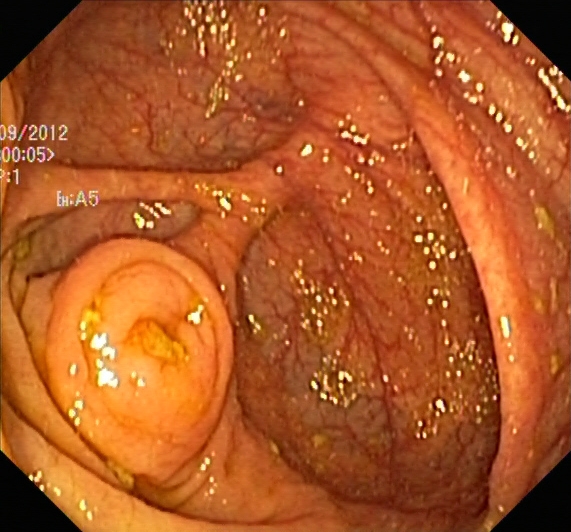This endoscopic image of the lower GI tract shows cecum.